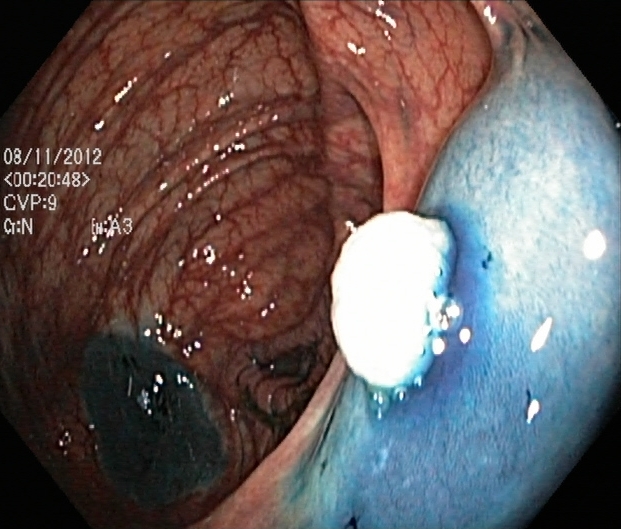Colonoscopy. Therapeutic intervention. Finding: dyed and lifted polyp (pre-resection).